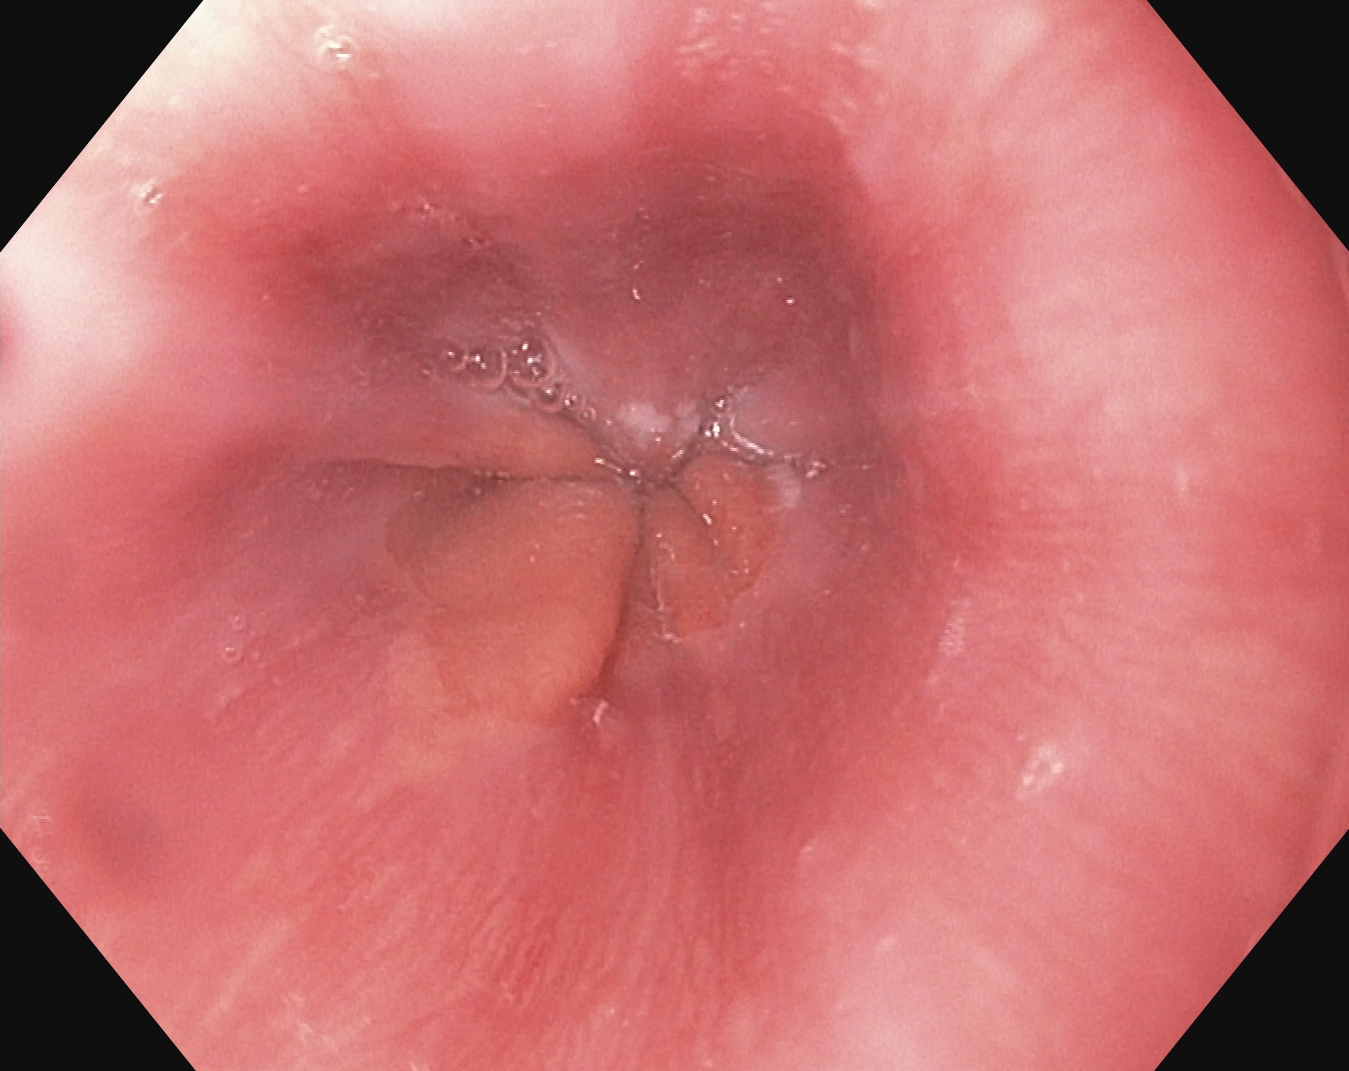EGD. Tract: upper GI tract. Finding: Z-line (gastroesophageal junction).